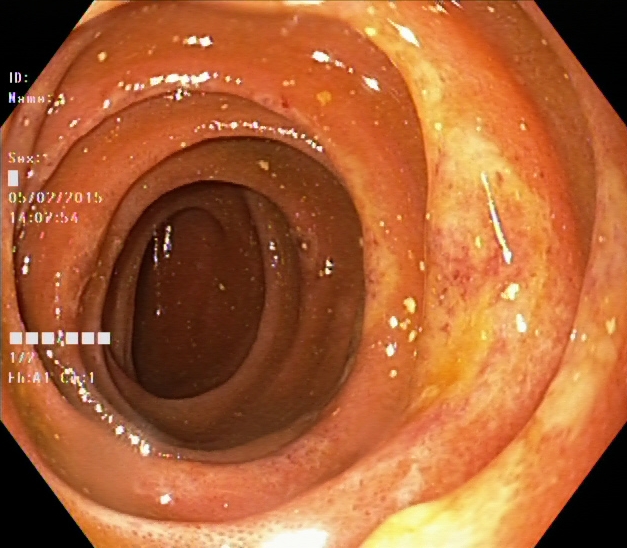PROCEDURE: Lower gastrointestinal endoscopy.
FINDINGS: UC, Mayo endoscopic subscore 2–3.